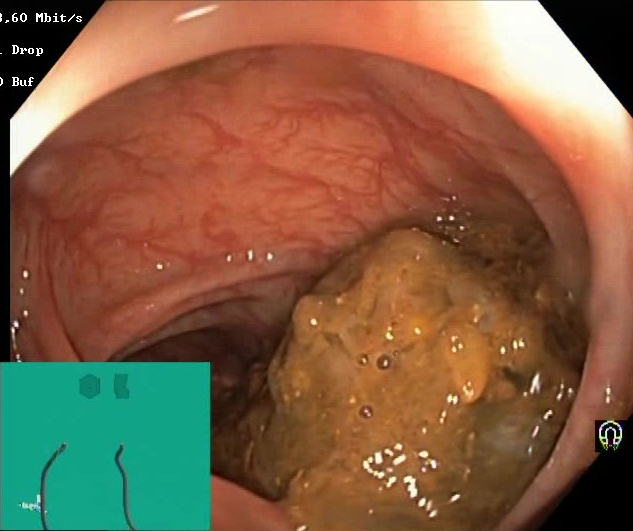Boston Bowel Preparation Scale score 0–1 (inadequate preparation).